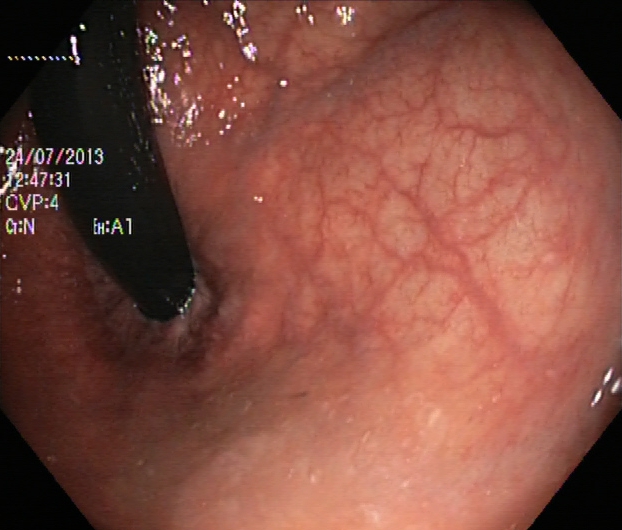PROCEDURE: Lower-GI endoscopy.
FINDINGS: Rectum in retroflexion.